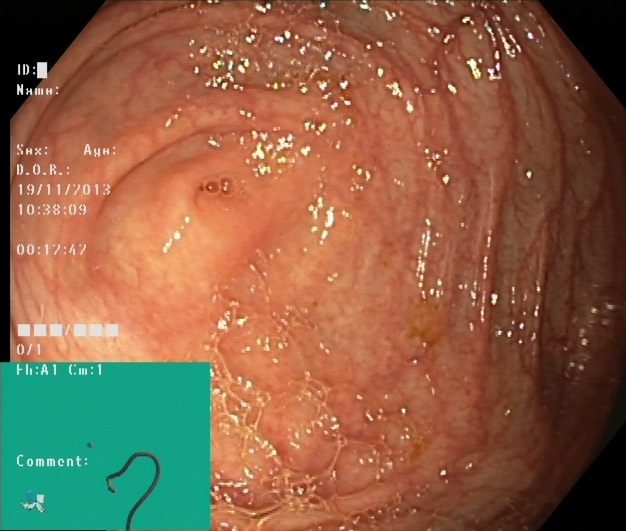{"modality": "lower-GI endoscopy", "tract": "lower GI tract", "category": "anatomical landmark", "finding": "cecum"}